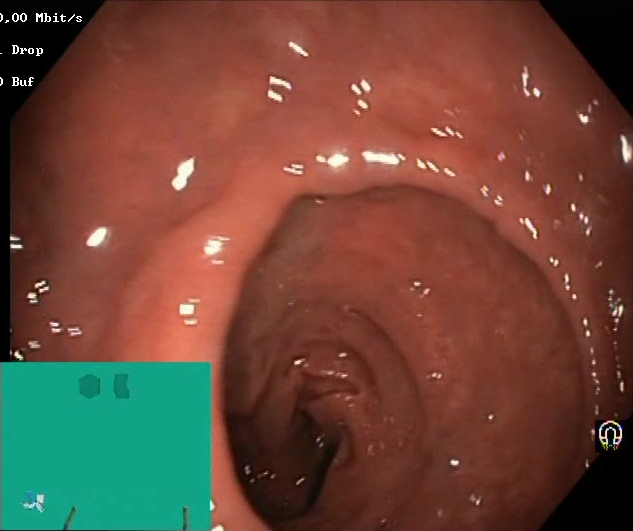{"modality": "lower gastrointestinal endoscopy", "tract": "lower GI tract", "finding": "BBPS score 2\u20133 (adequate preparation)"}